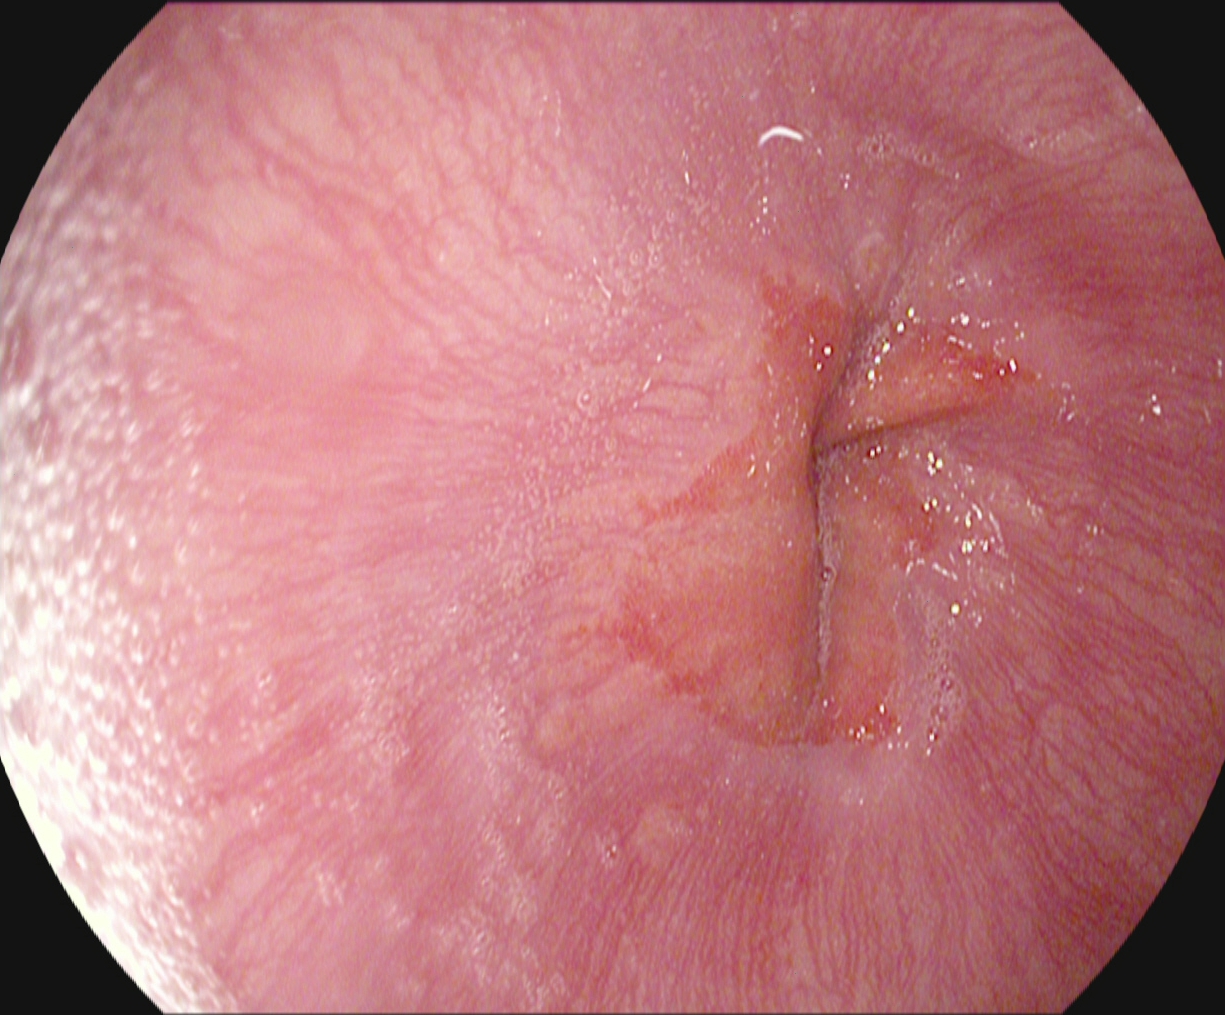Endoscopic frame of the upper GI tract showing Z-line (gastroesophageal junction).